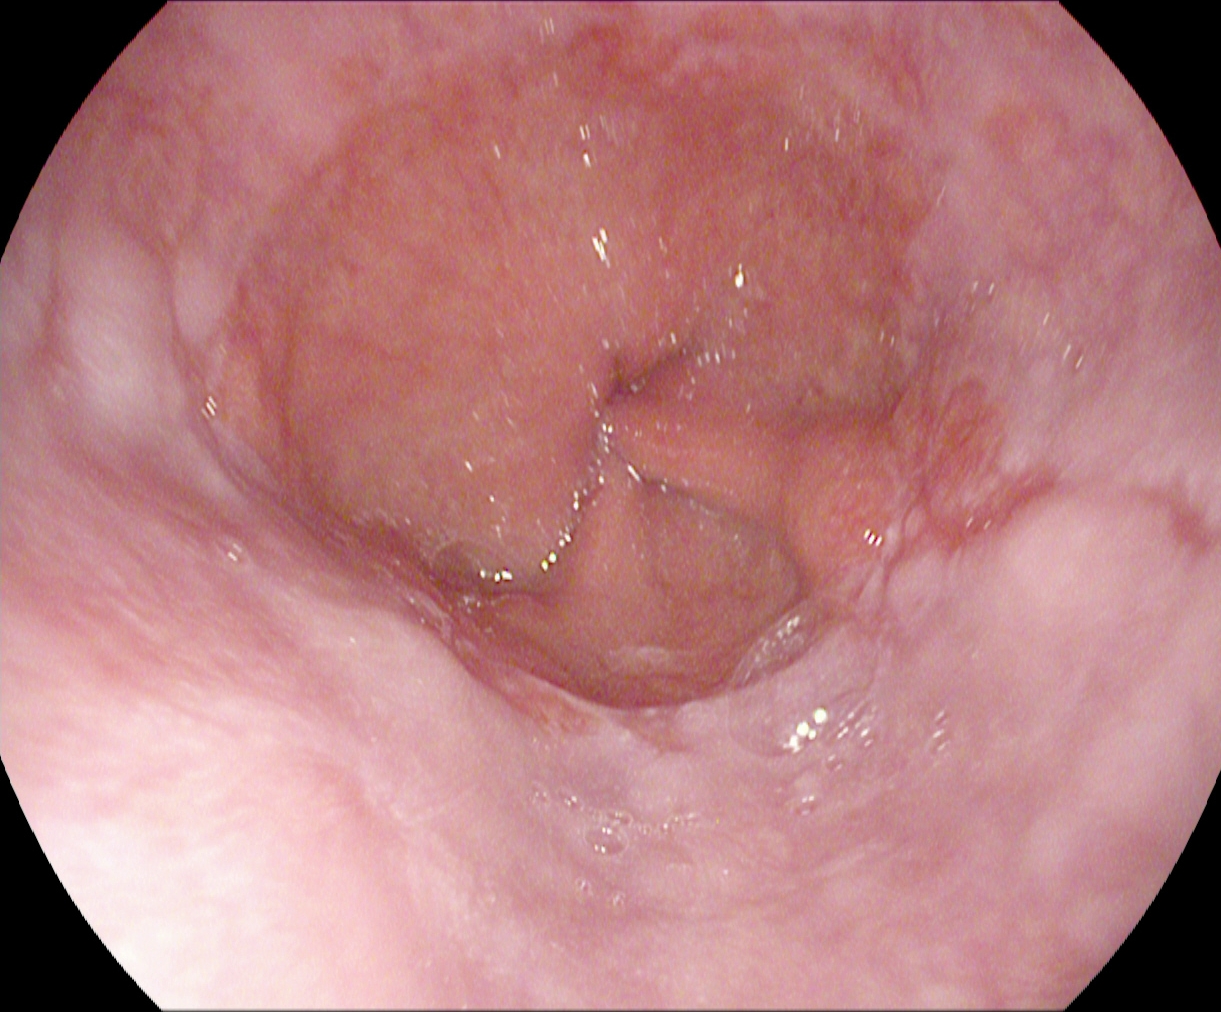Gastrointestinal endoscopy image showing reflux esophagitis, Los Angeles grade A.